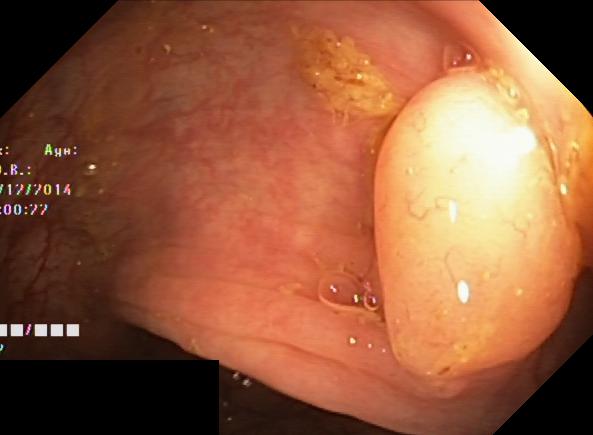Colorectal polyp(s).